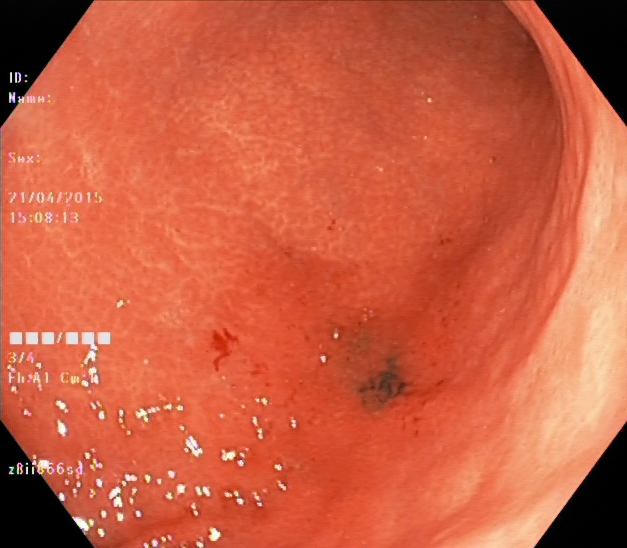Endoscopic frame showing ulcerative colitis, Mayo endoscopic subscore 2.